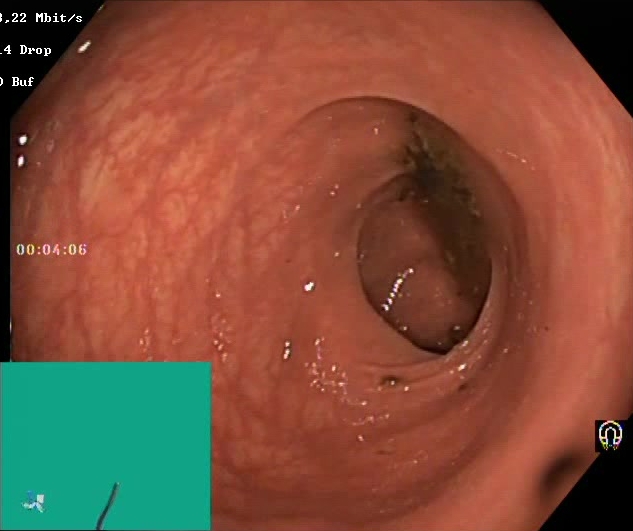Lower gastrointestinal endoscopy image showing Boston Bowel Preparation Scale score 0–1 (inadequate preparation).